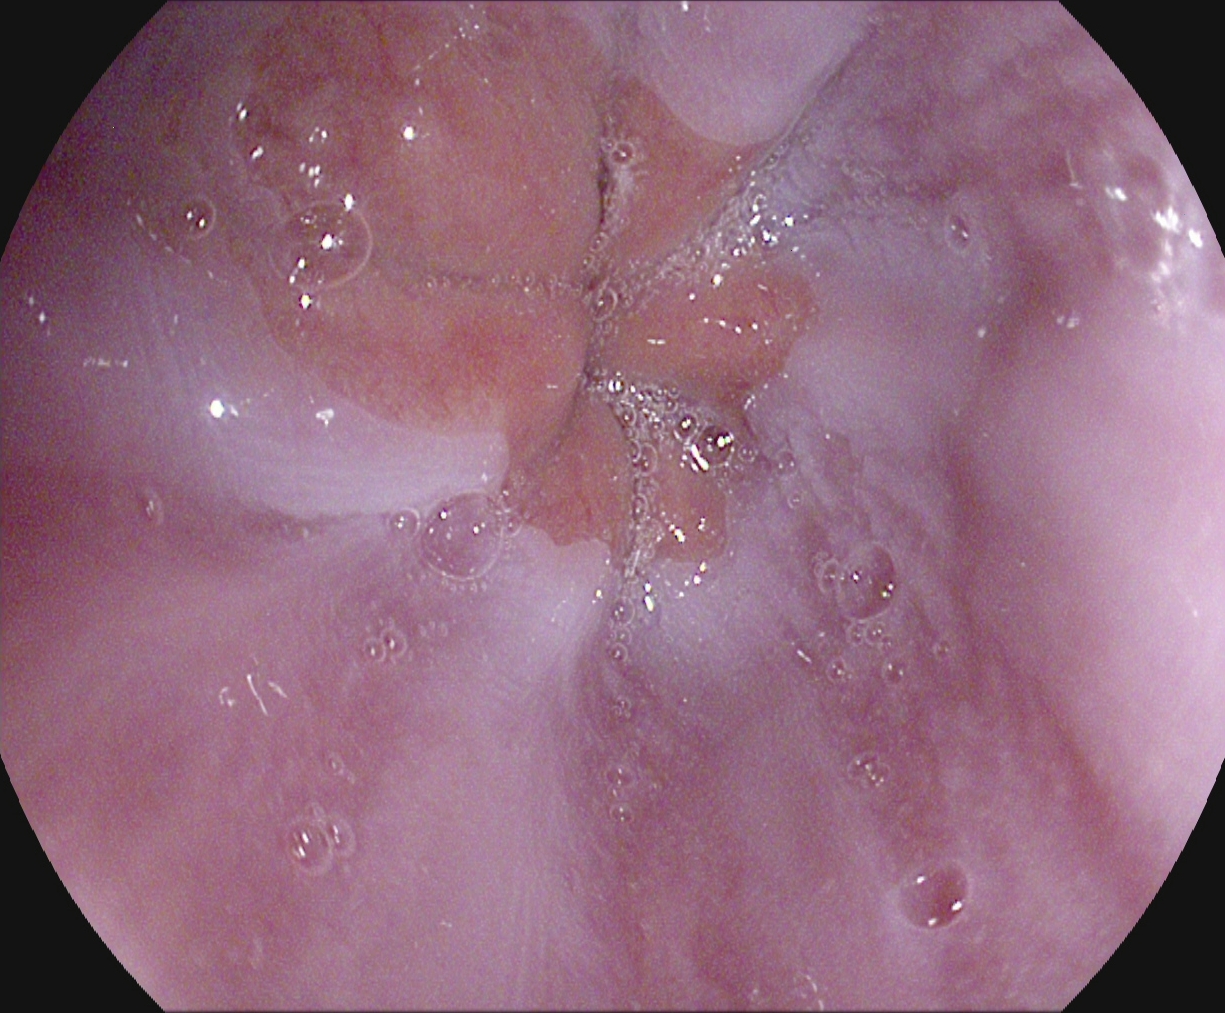Upper-GI endoscopy. Tract: upper GI tract. Anatomical landmark. Finding: Z-line (gastroesophageal junction).